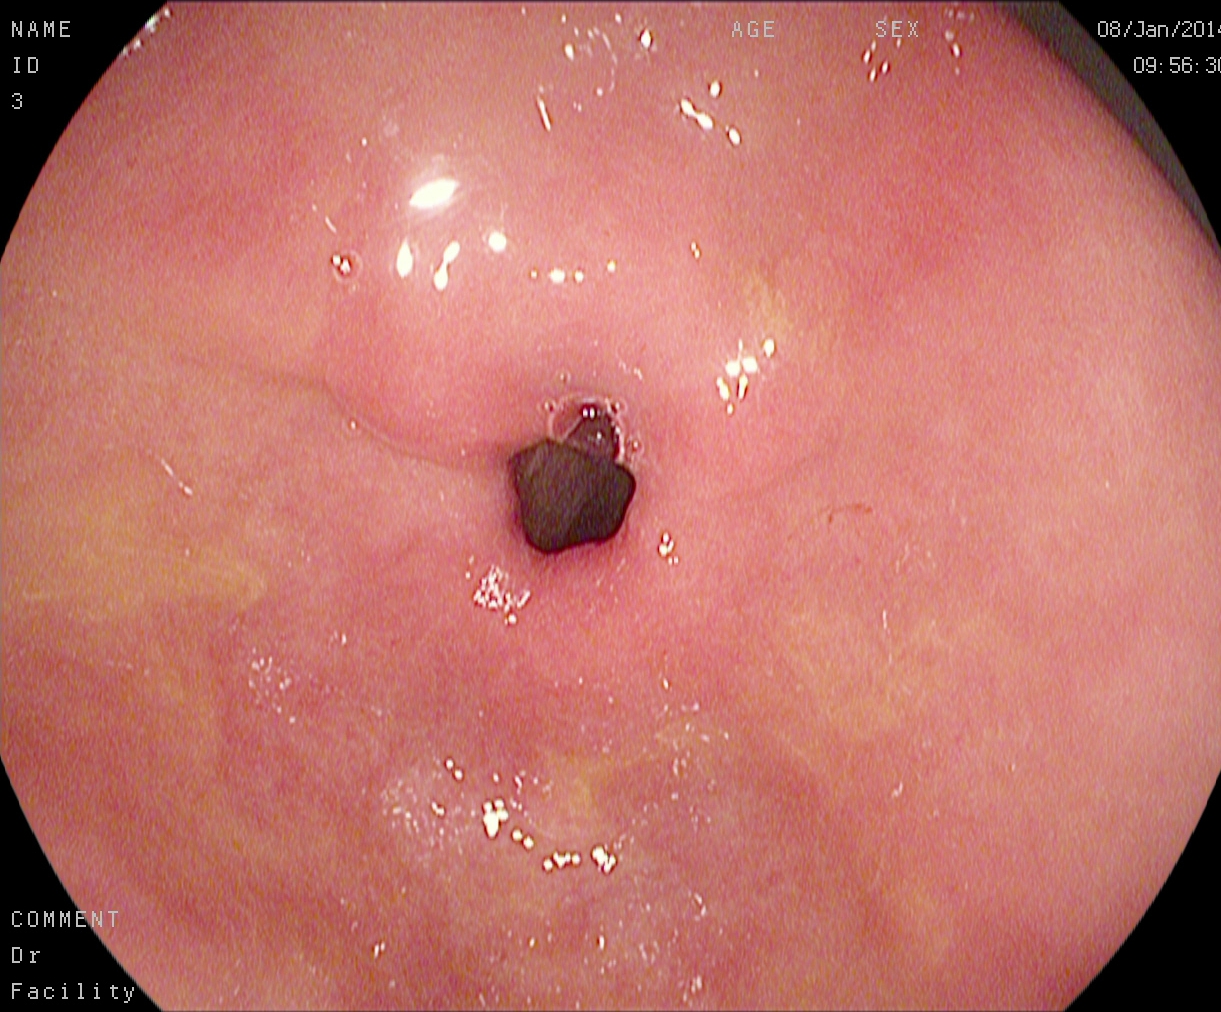This endoscopy frame of the upper GI tract shows pylorus.